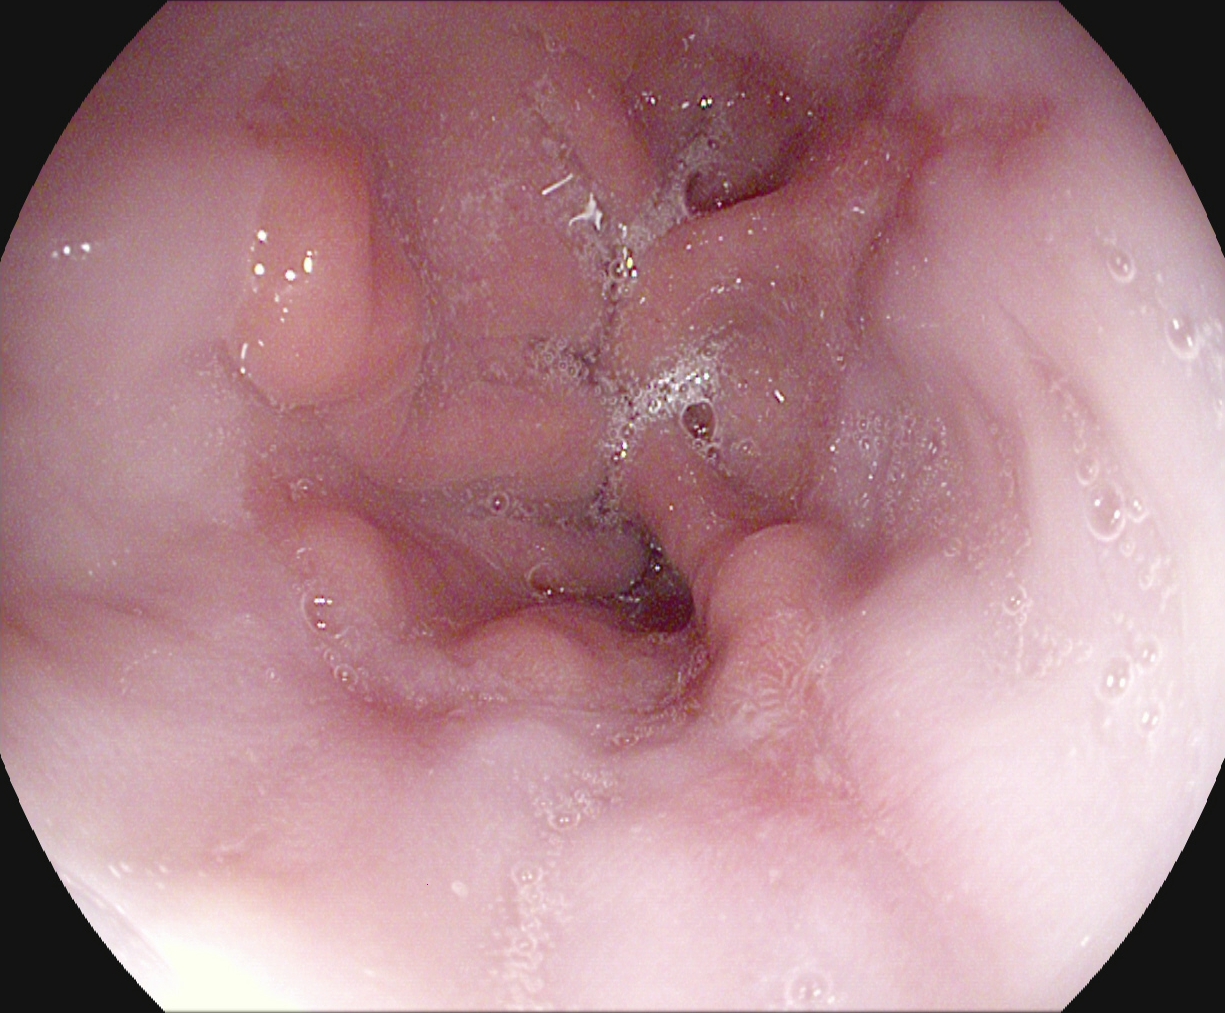modality: gastroscopy; finding: reflux esophagitis, Los Angeles grade A